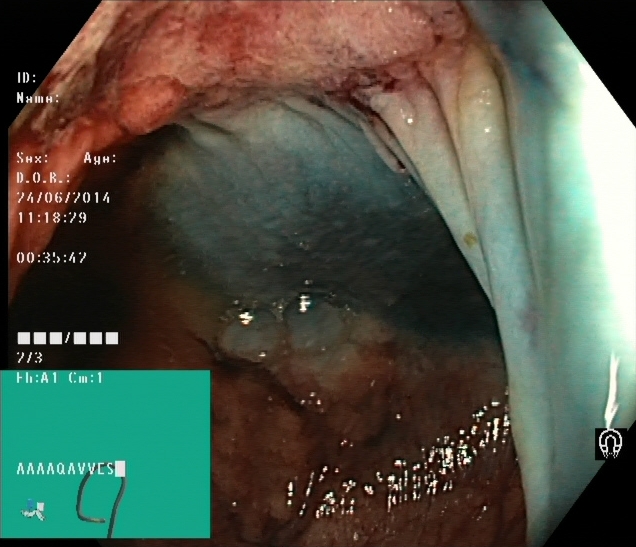{"modality": "lower-GI endoscopy", "category": "therapeutic intervention", "finding": "dyed and lifted polyp (pre-resection)"}